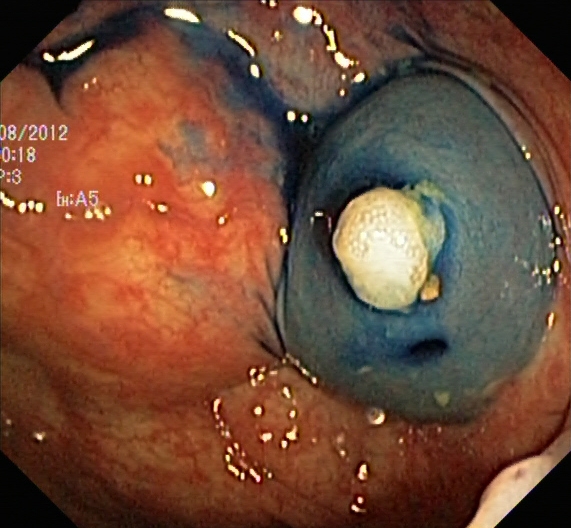Colonoscopy. Tract: lower GI tract. Finding: dyed and lifted polyp (pre-resection).